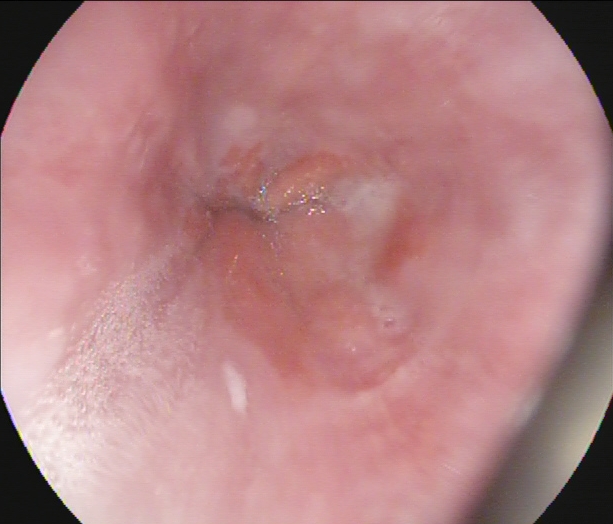Endoscopy image showing Z-line (gastroesophageal junction).